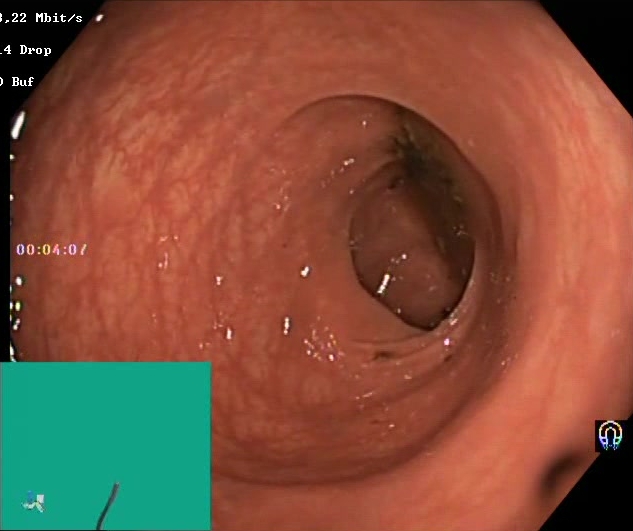Lower-GI endoscopy — BBPS score 0–1 (inadequate preparation).